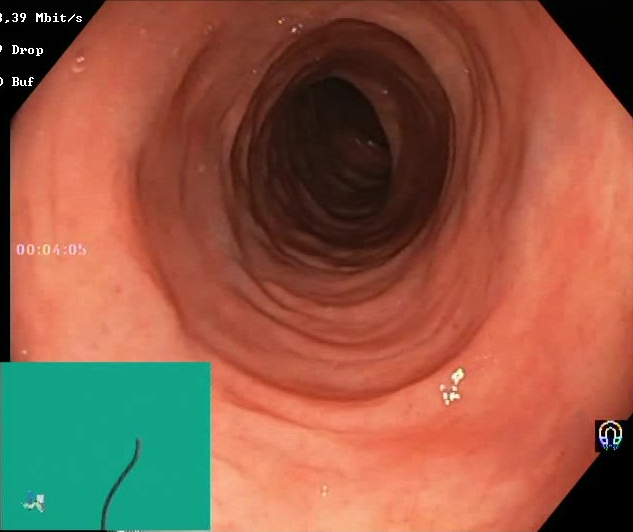Colonoscopy. Finding: Boston Bowel Preparation Scale score 2–3 (adequate preparation).